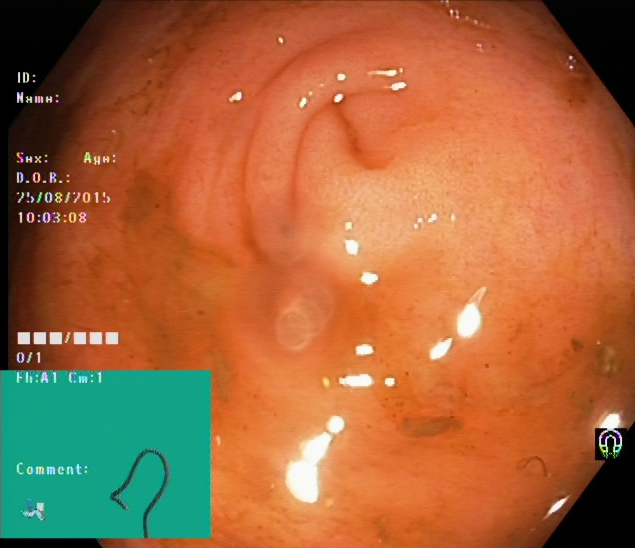Gastrointestinal endoscopy image of the lower GI tract showing cecum.